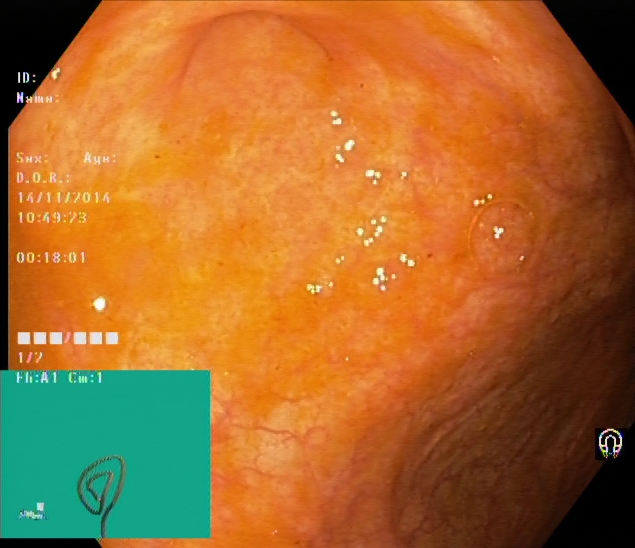Endoscopy image showing cecum.